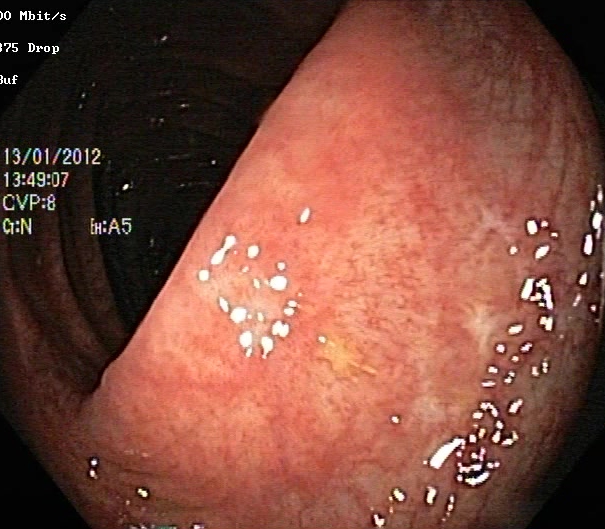Lower gastrointestinal endoscopy — UC, Mayo endoscopic subscore 1.